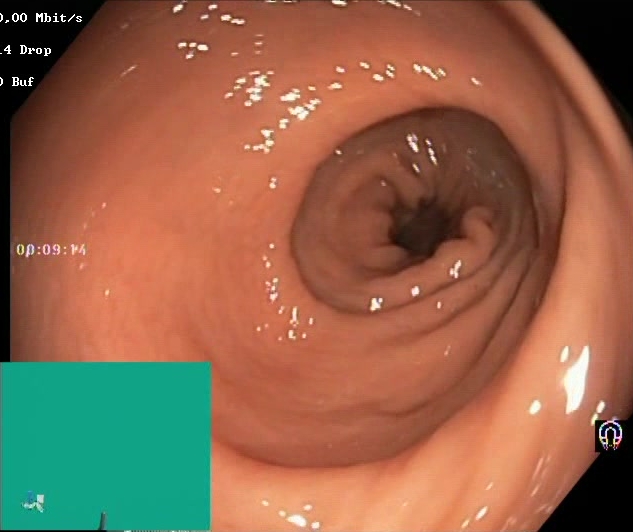Colonoscopy. Tract: lower GI tract. Finding: Boston Bowel Preparation Scale score 2–3 (adequate preparation).